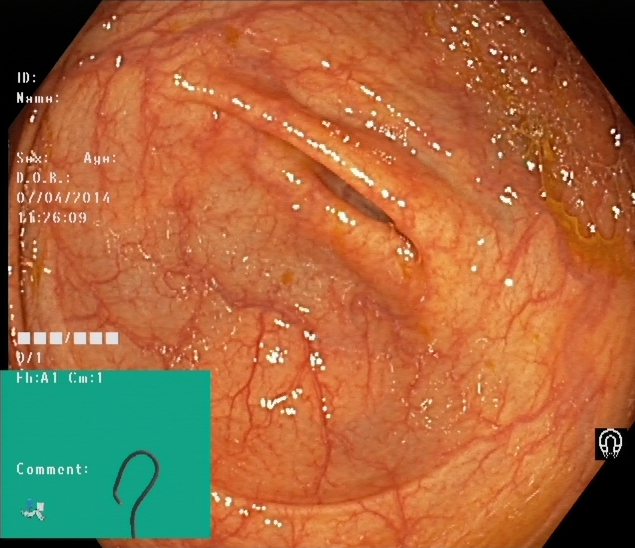Colonoscopy. Anatomical landmark. Finding: cecum.